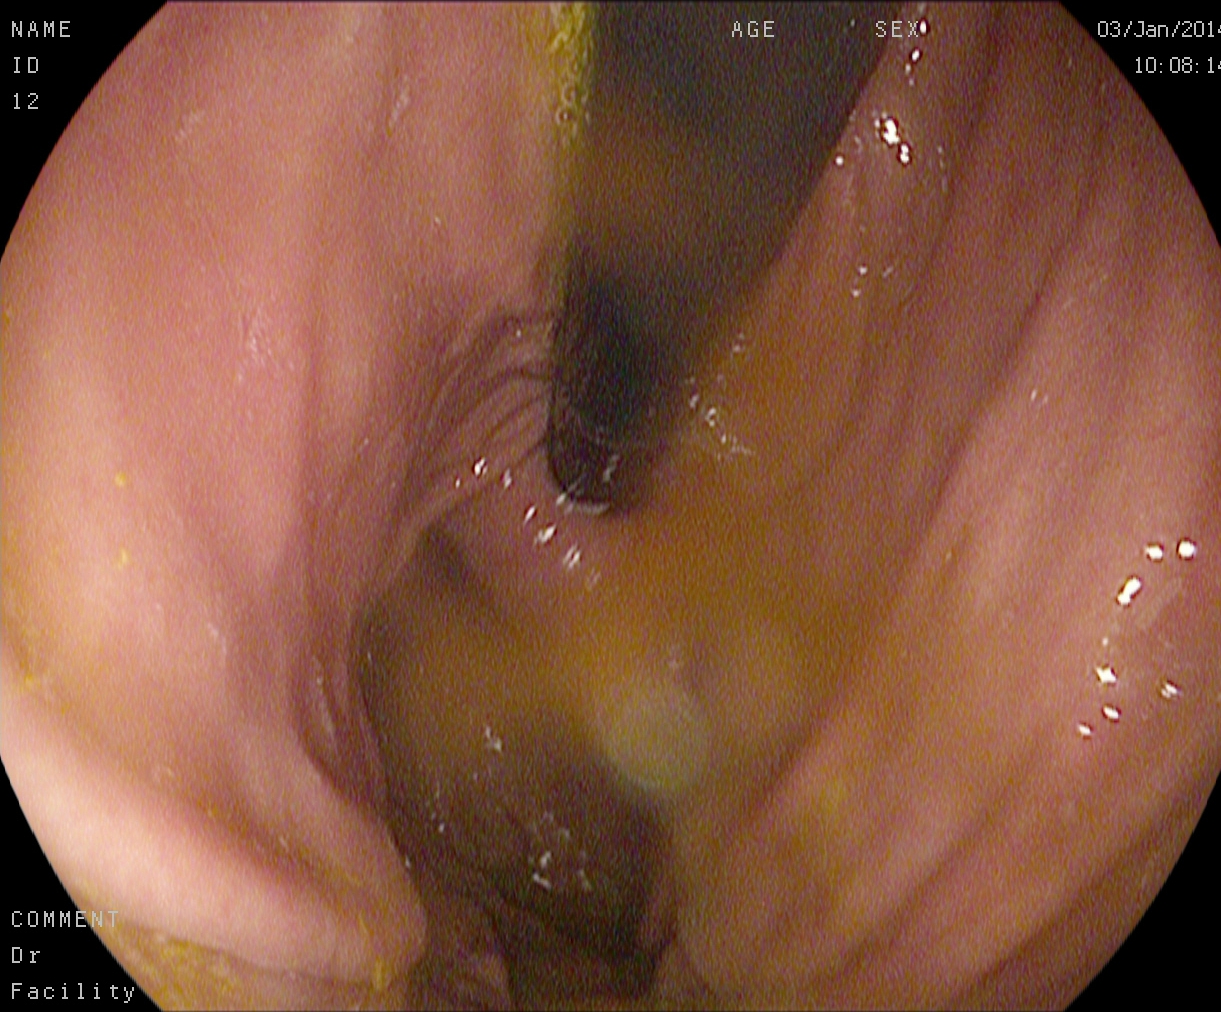modality: EGD; category: anatomical landmark; finding: stomach in retroflexion